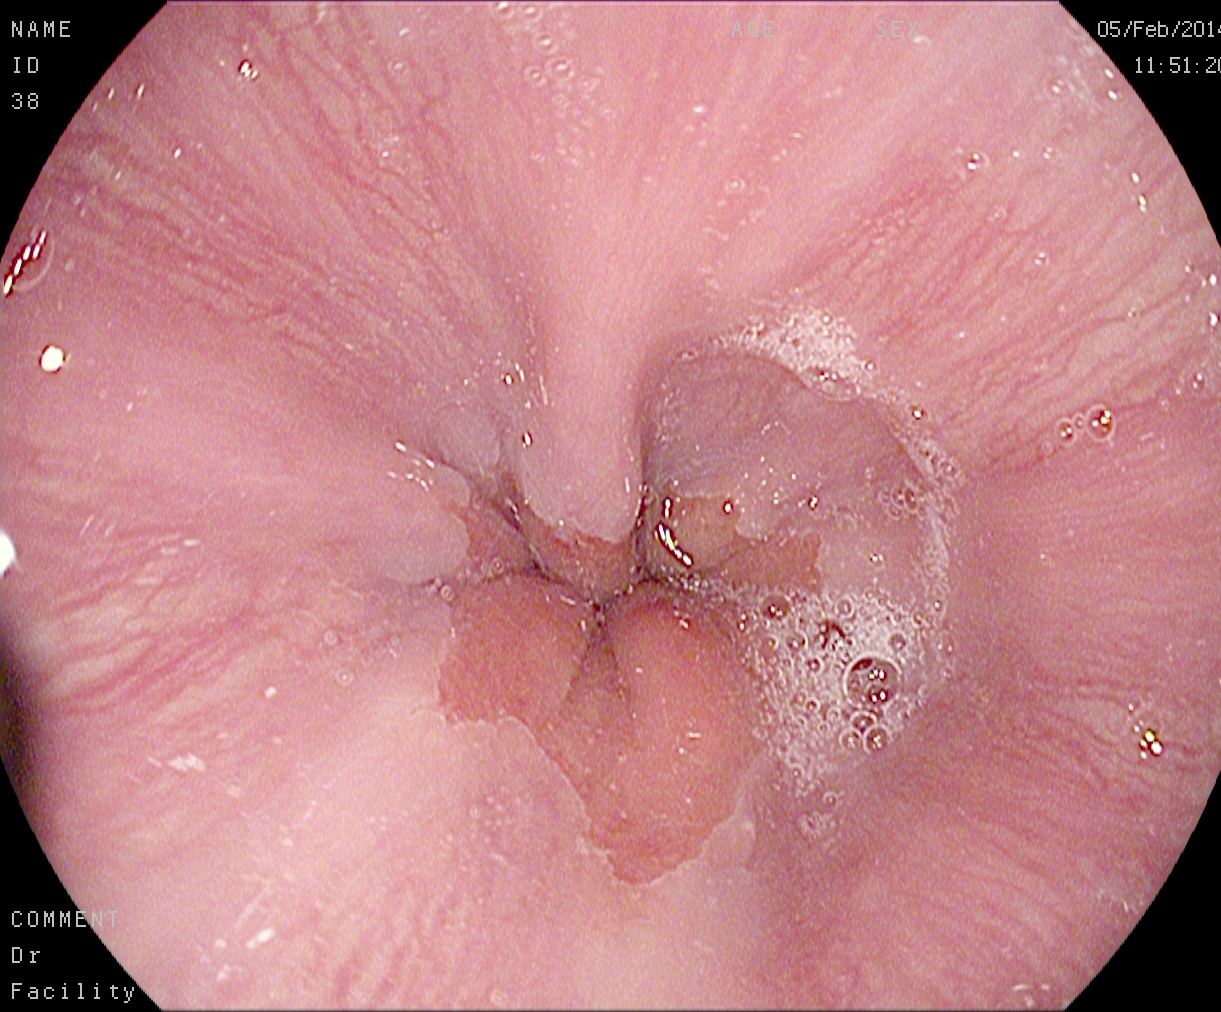{"modality": "EGD", "finding": "Z-line (gastroesophageal junction)"}